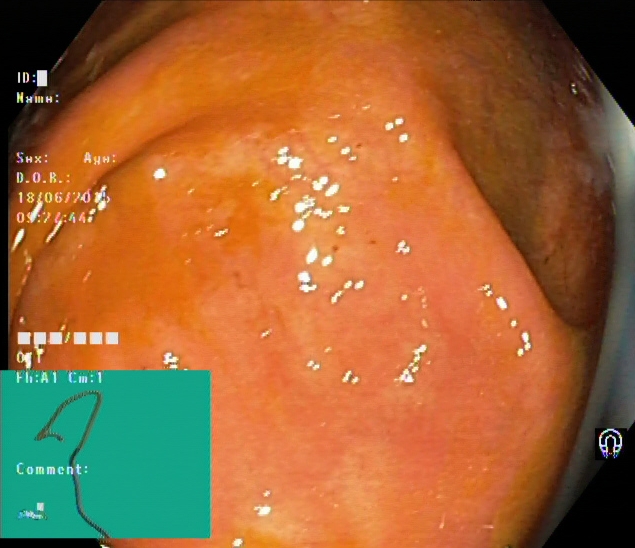Colonoscopy — cecum.